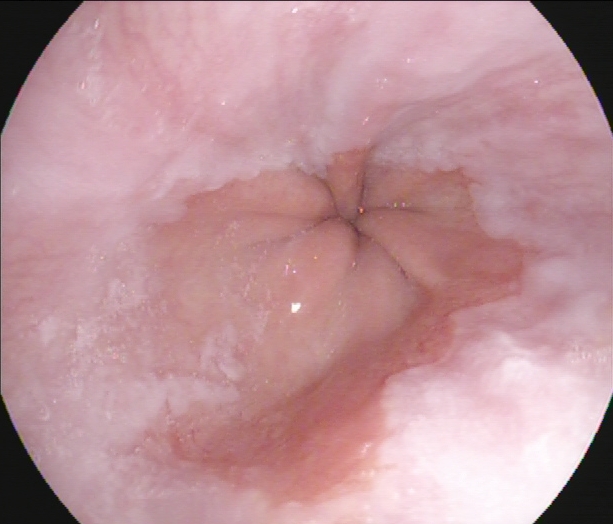Z-line (gastroesophageal junction).